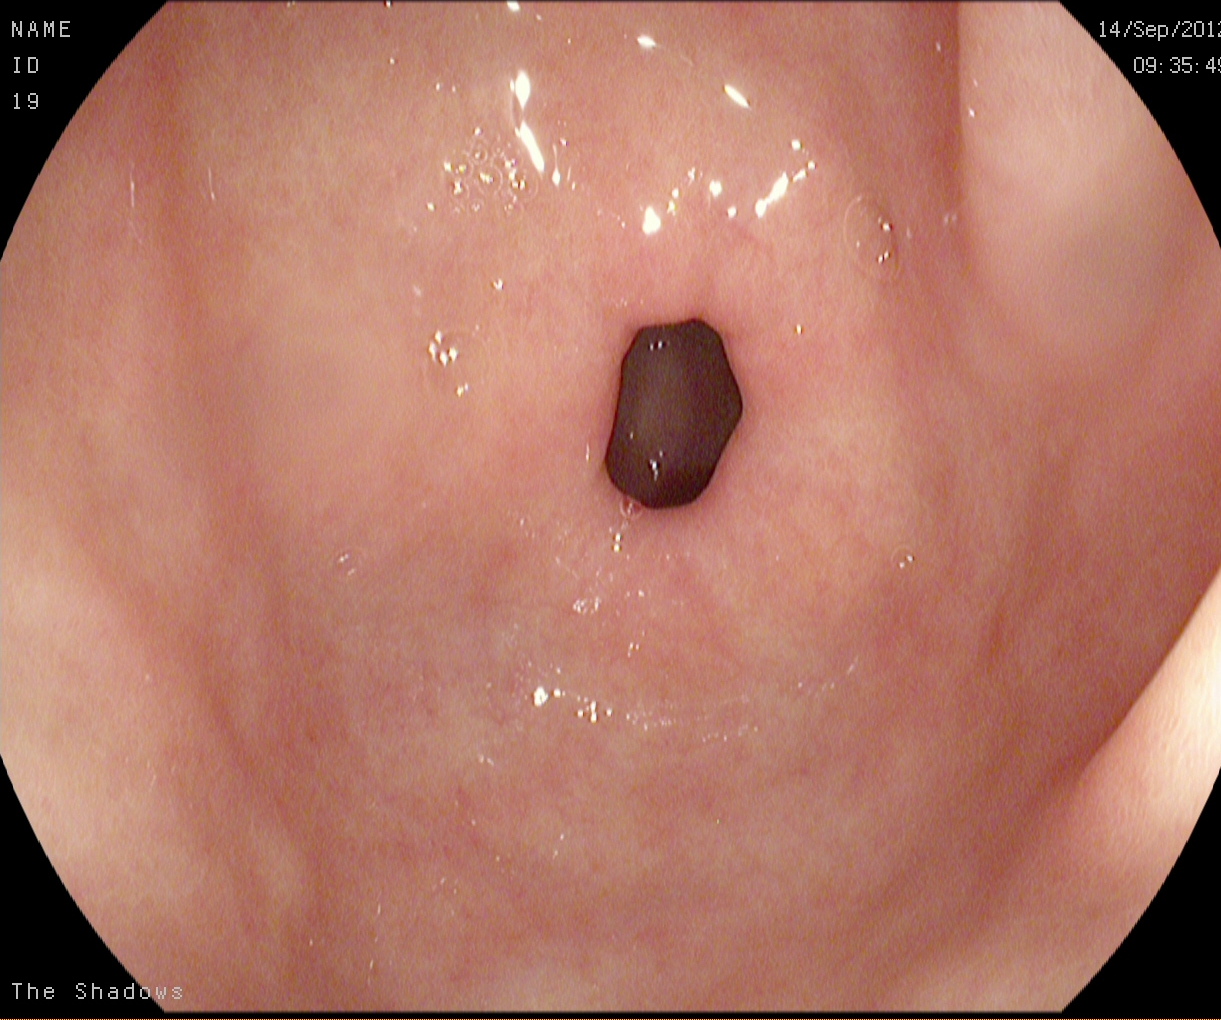This endoscopy frame of the upper GI tract shows pylorus.